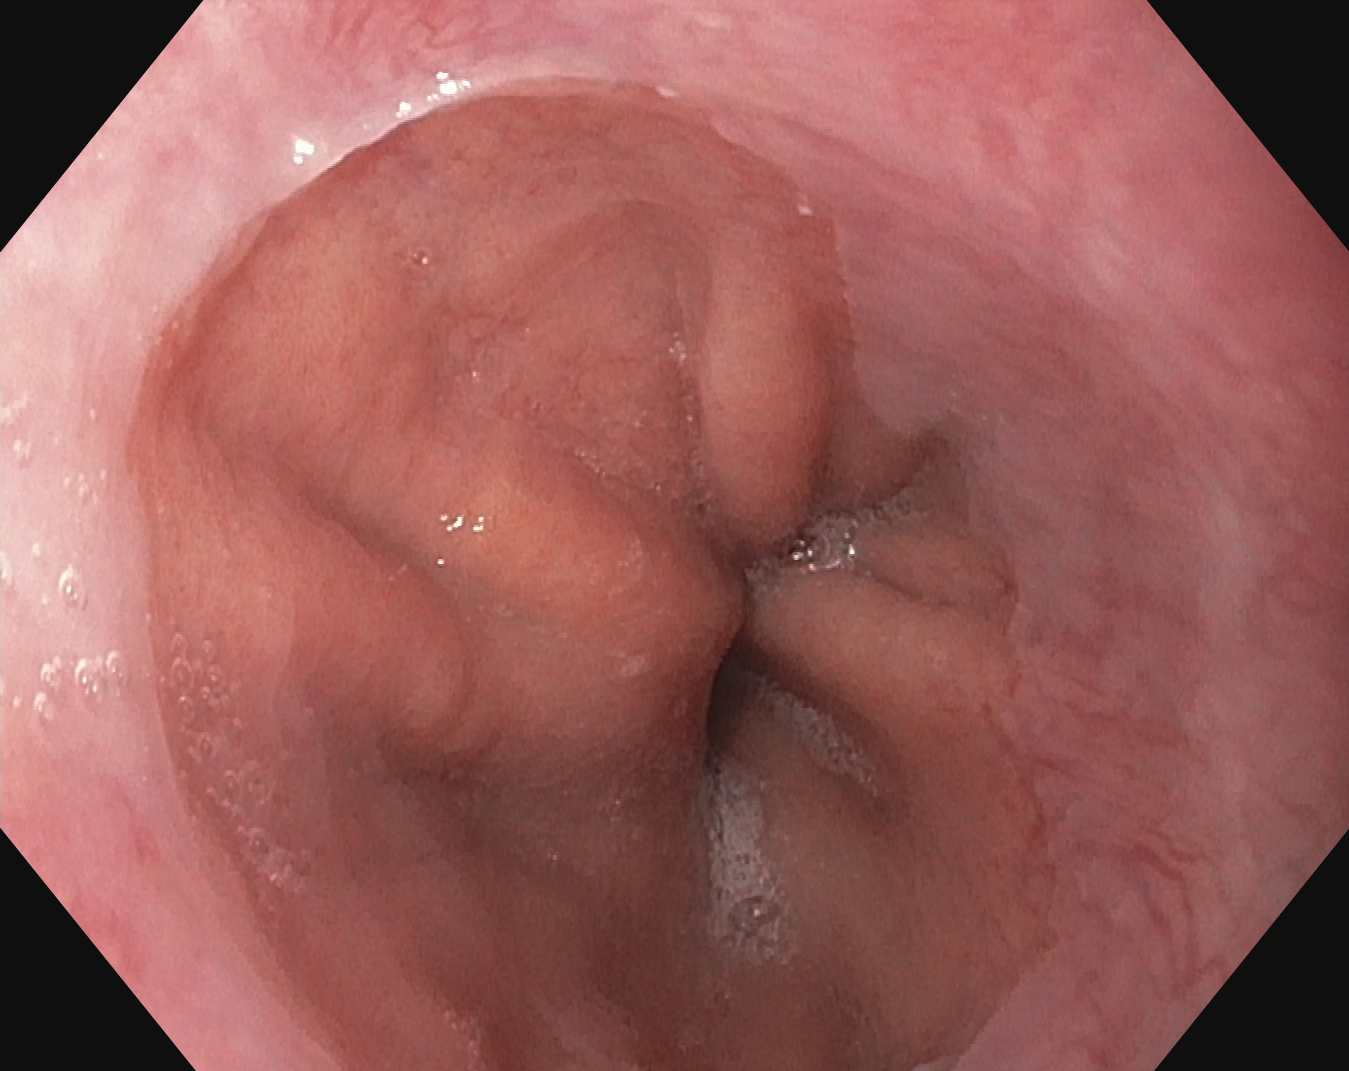Z-line (gastroesophageal junction).